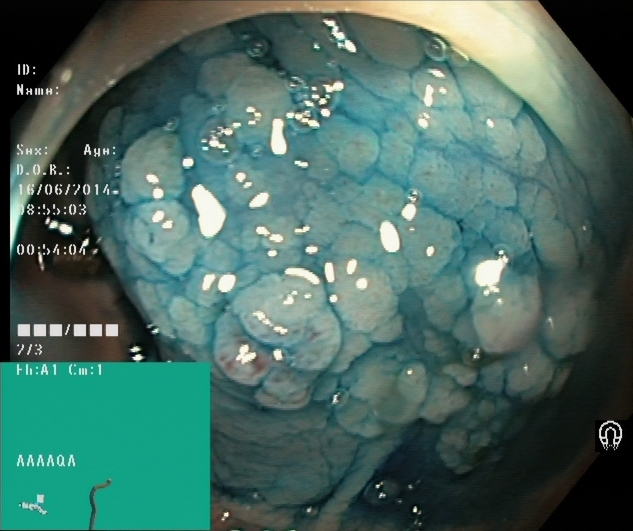This endoscopic image of the lower GI tract shows dyed and lifted polyp (pre-resection).